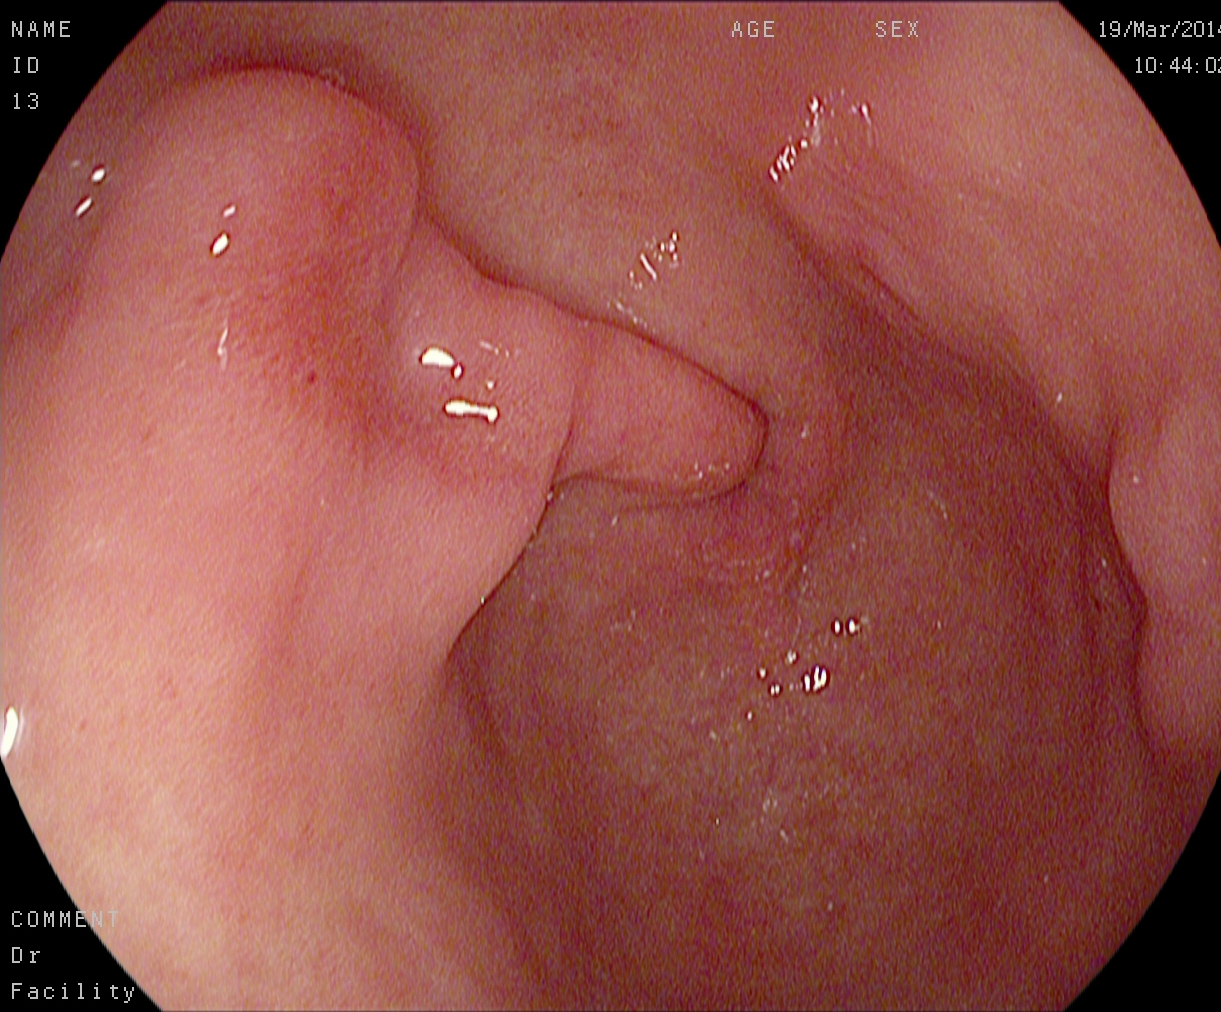This endoscopy frame of the upper GI tract shows pylorus.